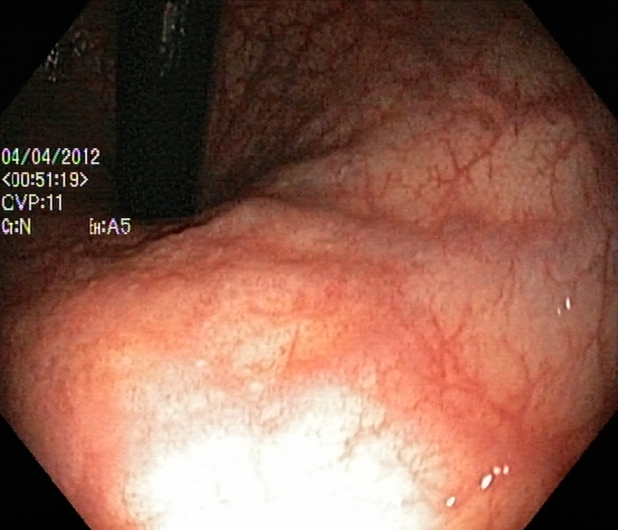Endoscopic frame showing rectum in retroflexion.